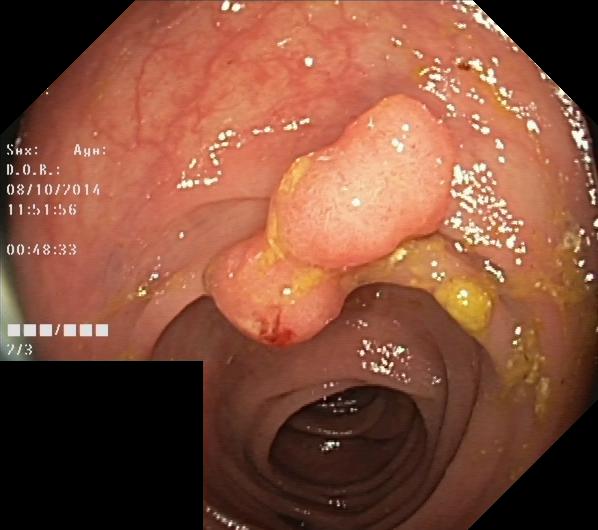This endoscopic image shows colorectal polyp(s).